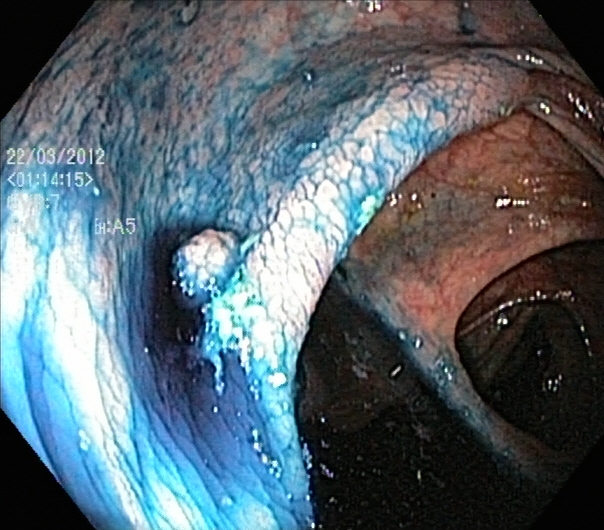{"modality": "lower-GI endoscopy", "finding": "dyed and lifted polyp (pre-resection)"}